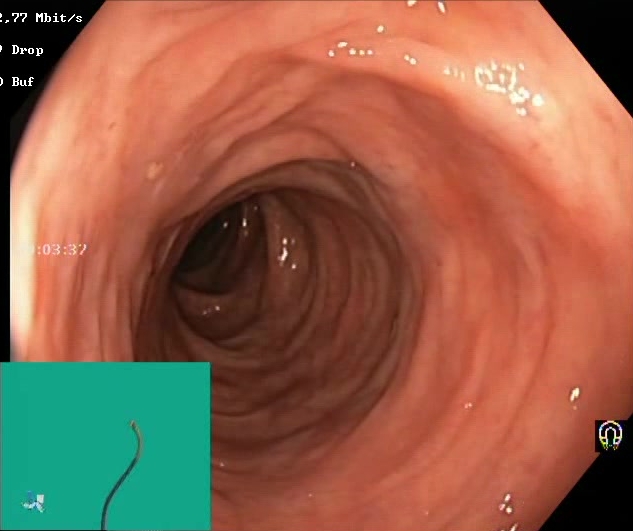Colonoscopy — Boston Bowel Preparation Scale score 2–3 (adequate preparation).